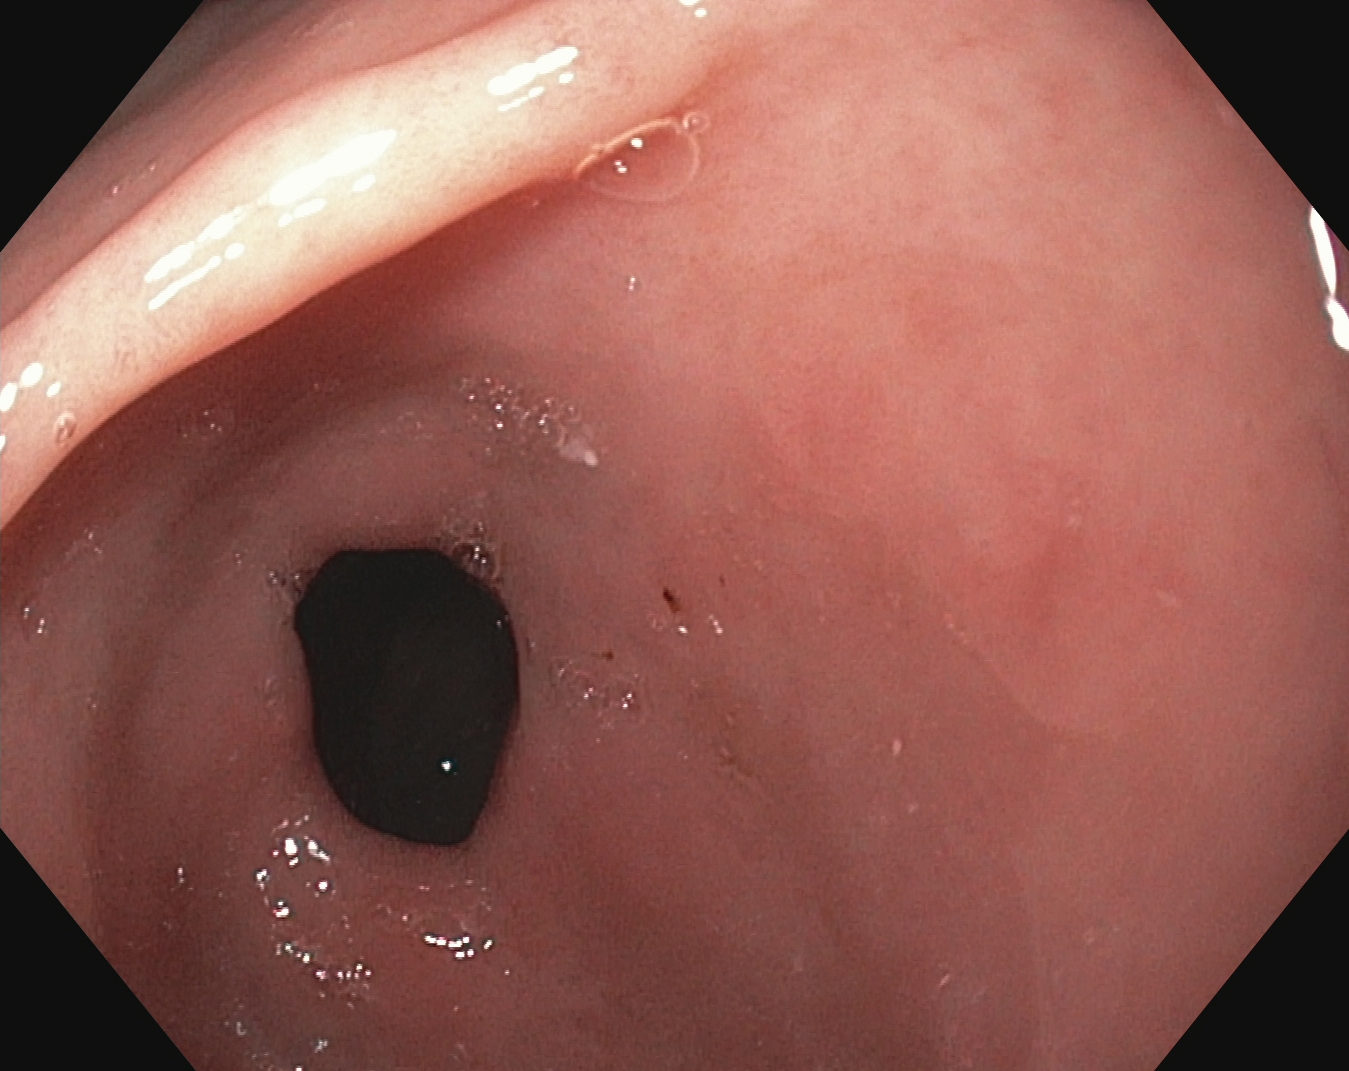modality: gastroscopy
tract: upper GI tract
finding: pylorus